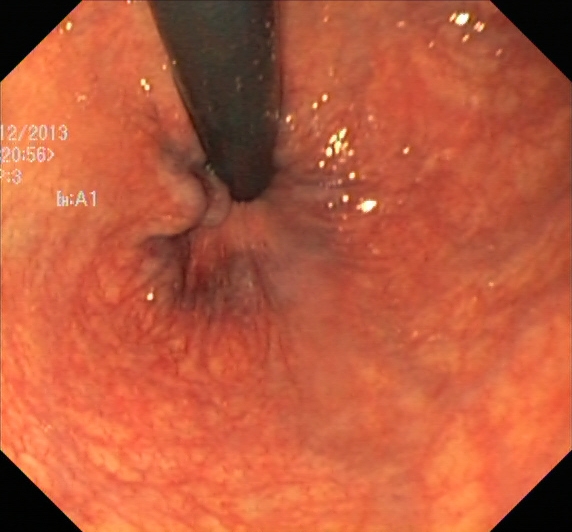Rectum in retroflexion.